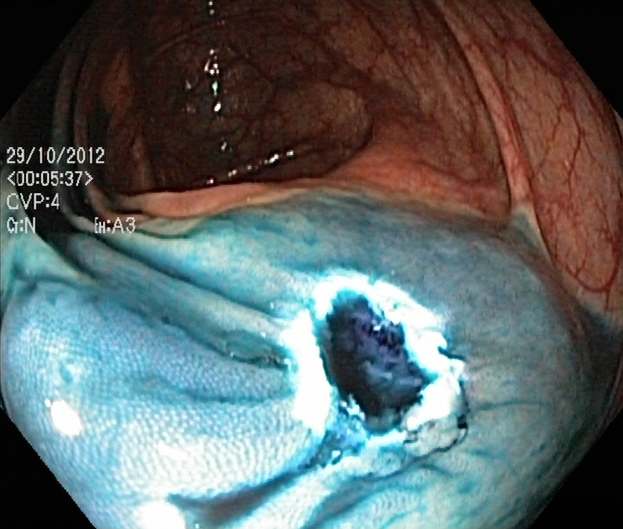Dyed resection margins (post-polypectomy).